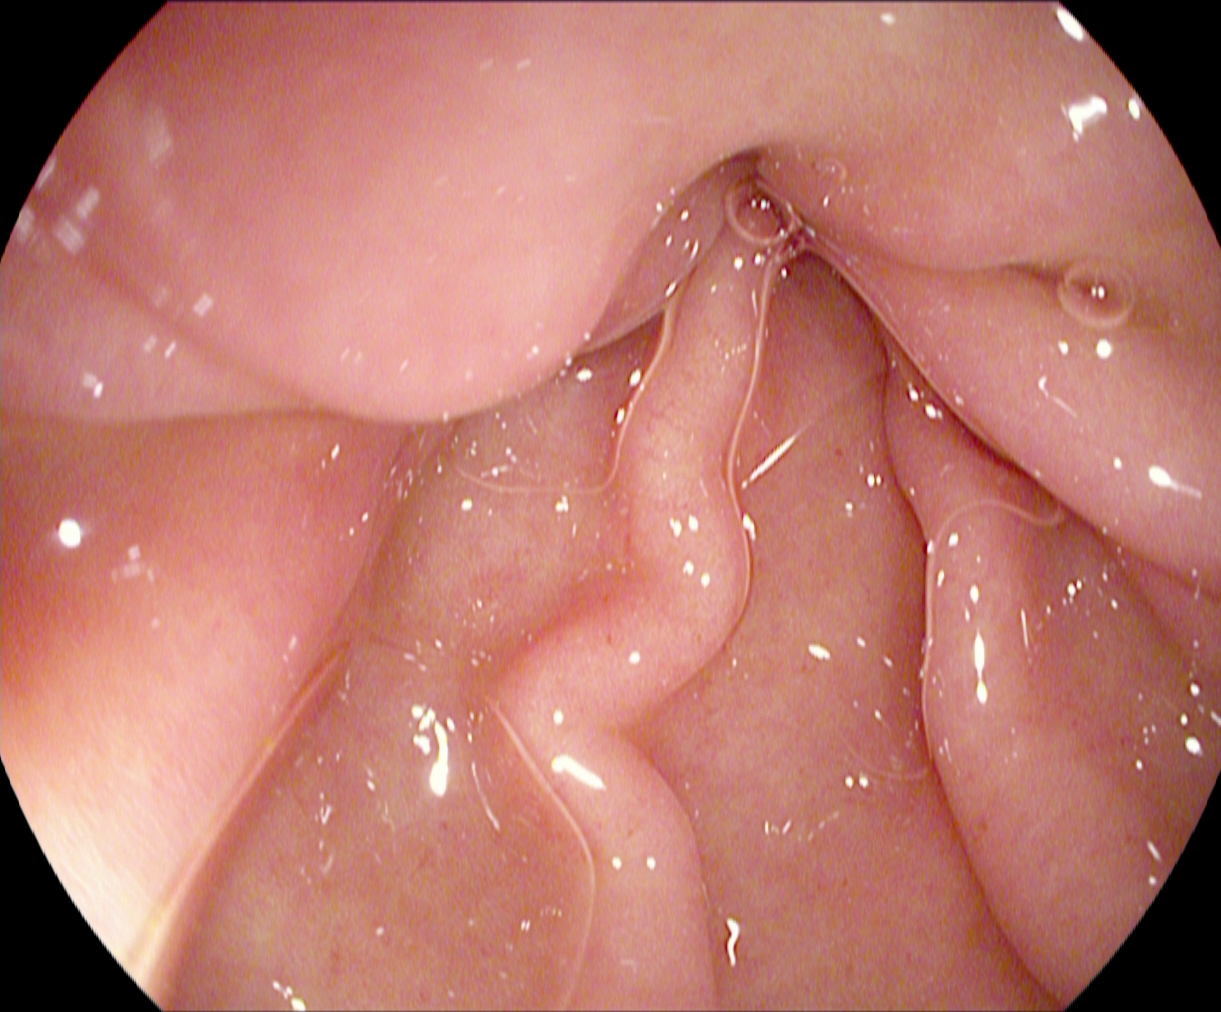Gastroscopy — pylorus.